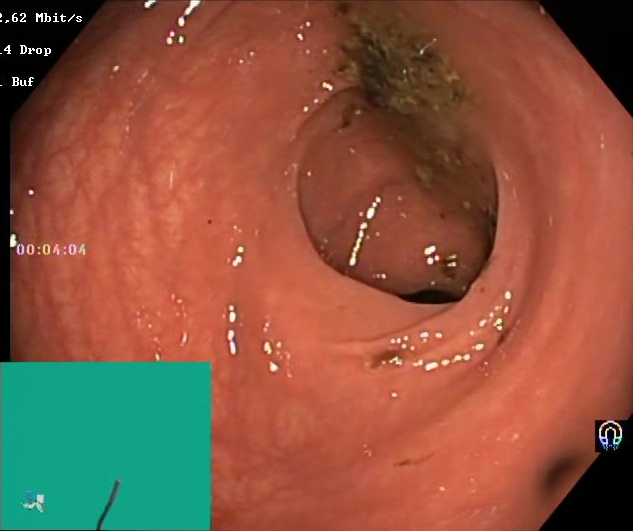Lower gastrointestinal endoscopy — Boston Bowel Preparation Scale score 0–1 (inadequate preparation).